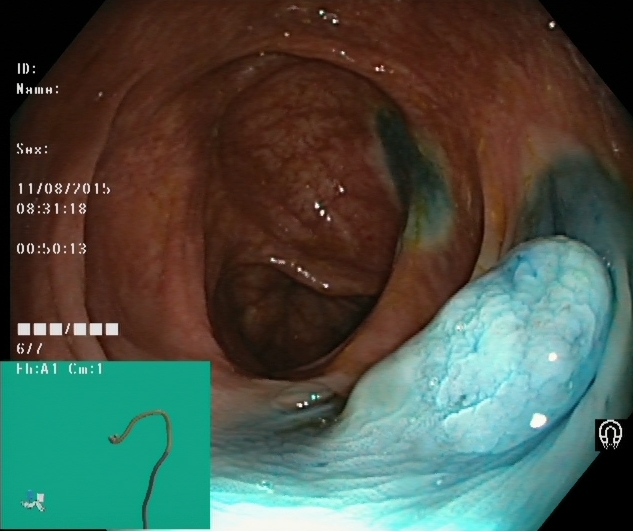PROCEDURE: Colonoscopy.
FINDINGS: Dyed and lifted polyp (pre-resection).